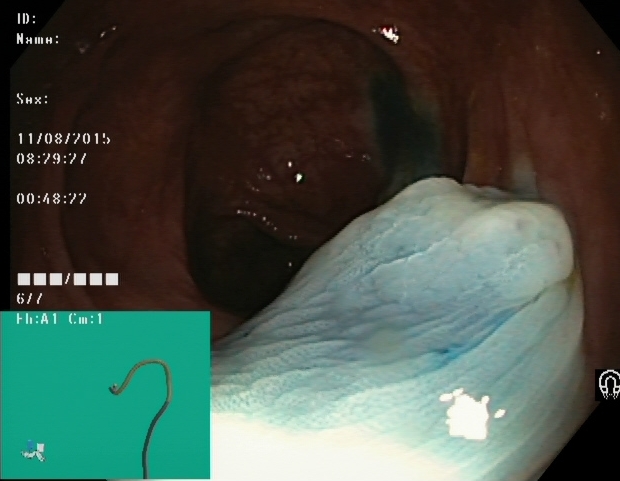Dyed and lifted polyp (pre-resection).